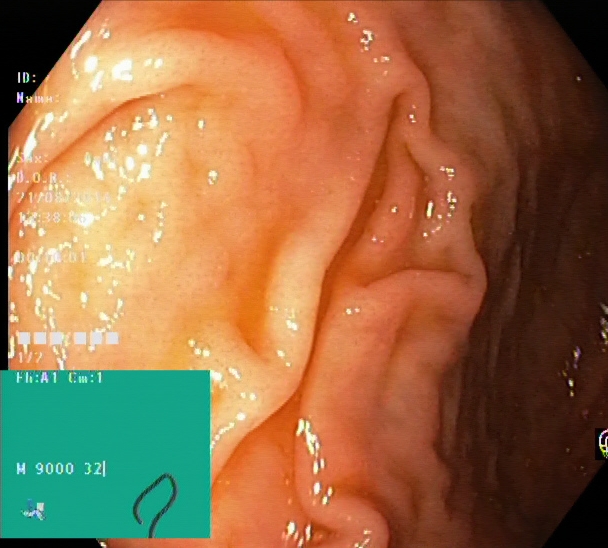cecum.